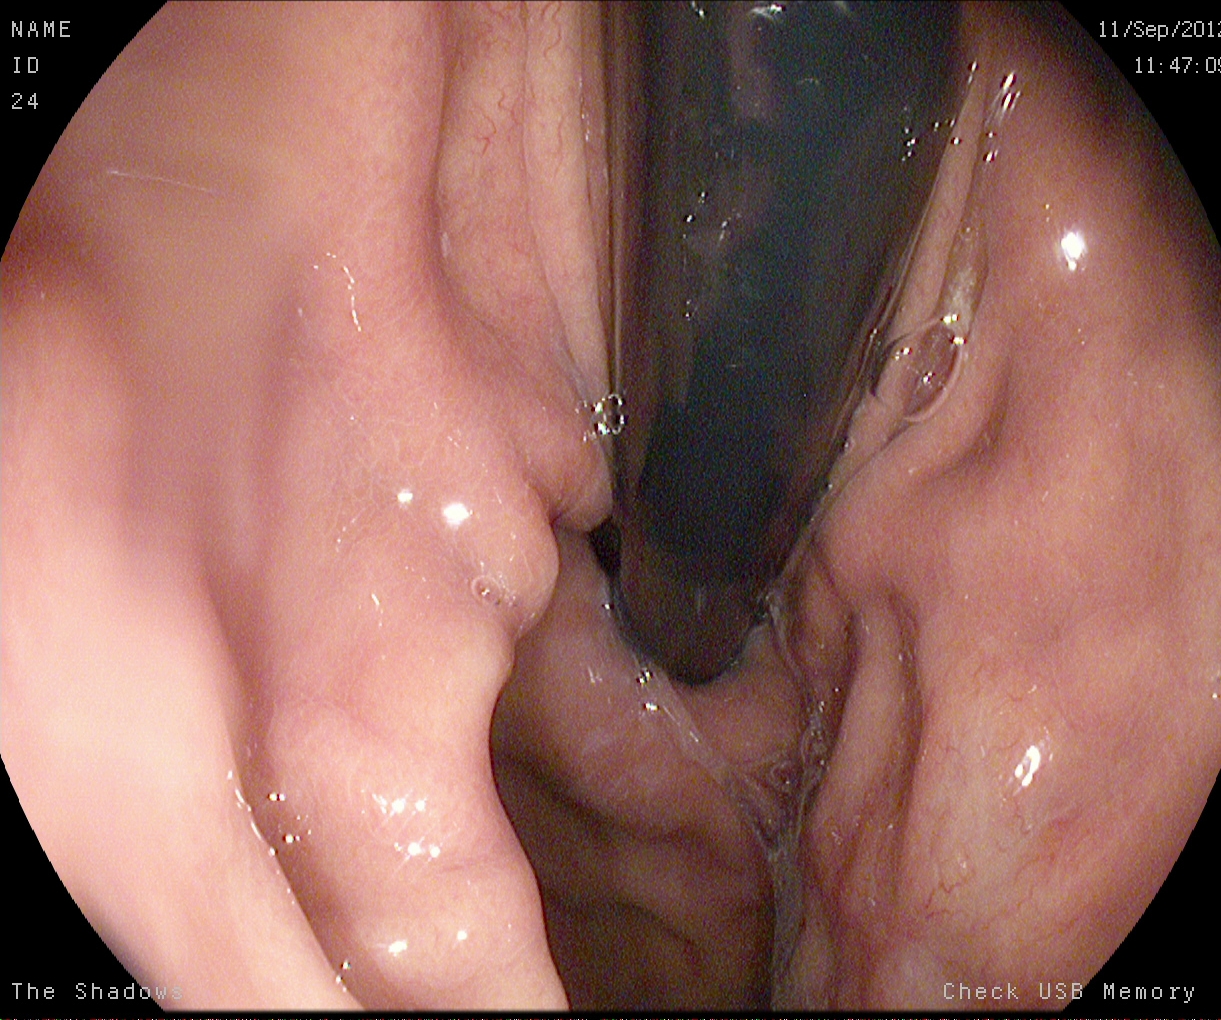Esophagogastroduodenoscopy — stomach in retroflexion.